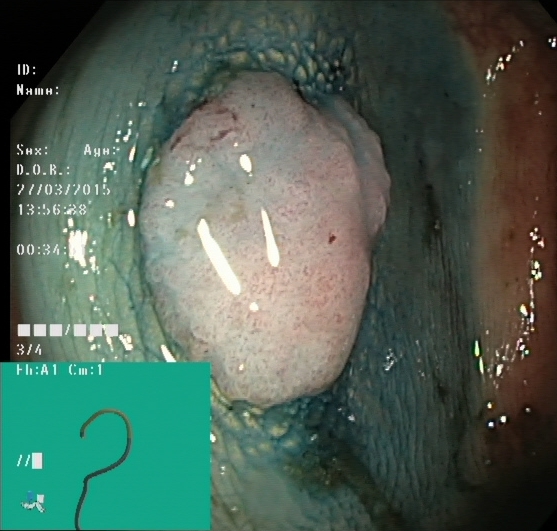{"modality": "colonoscopy", "tract": "lower GI tract", "category": "therapeutic intervention", "finding": "dyed and lifted polyp (pre-resection)"}